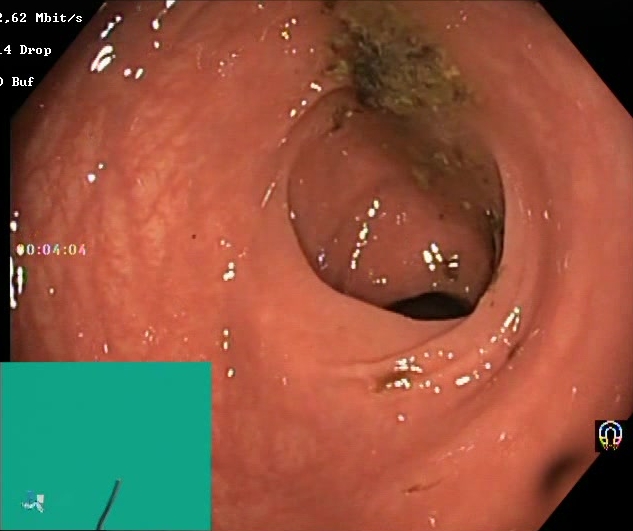{"modality": "colonoscopy", "tract": "lower GI tract", "category": "mucosal-view quality", "finding": "BBPS score 0\u20131 (inadequate preparation)"}